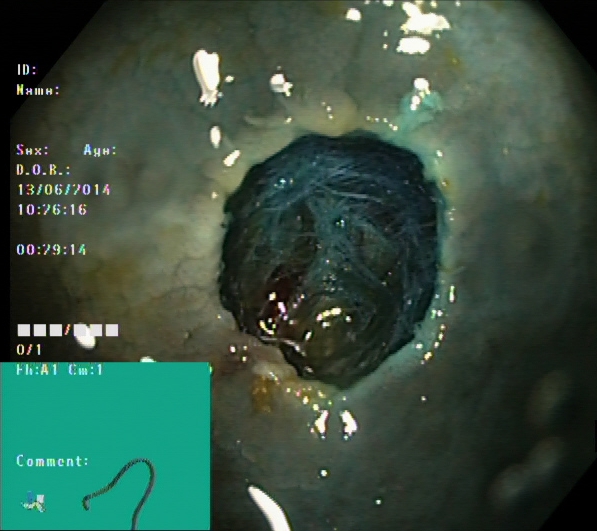Dyed resection margins (post-polypectomy).